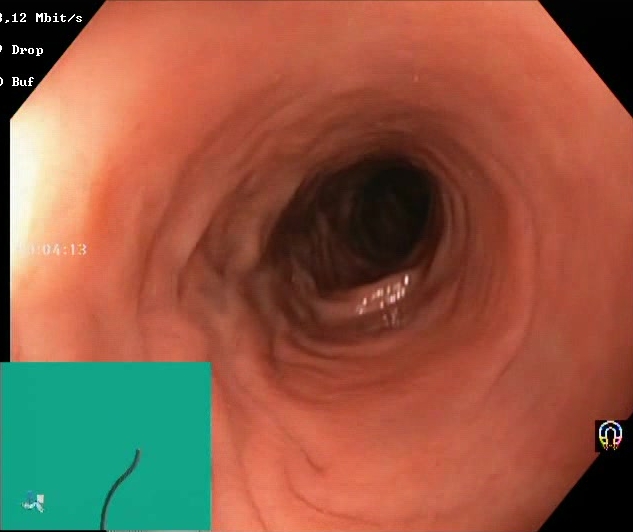Colonoscopy — Boston Bowel Preparation Scale score 2–3 (adequate preparation).